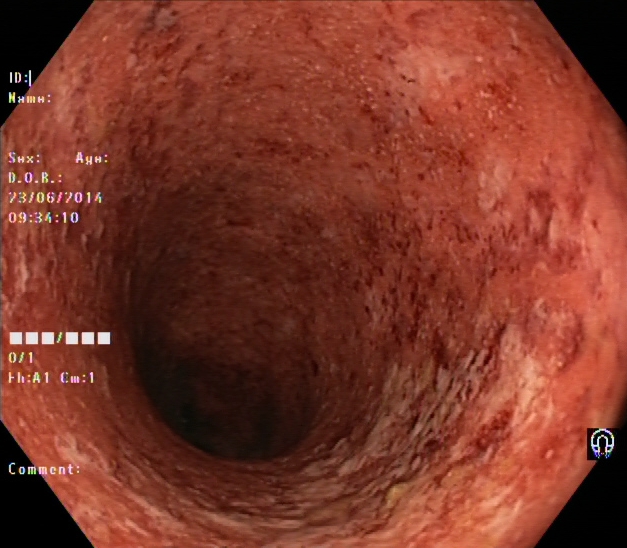Gastrointestinal endoscopy image of the lower GI tract showing ulcerative colitis, Mayo endoscopic subscore 3.